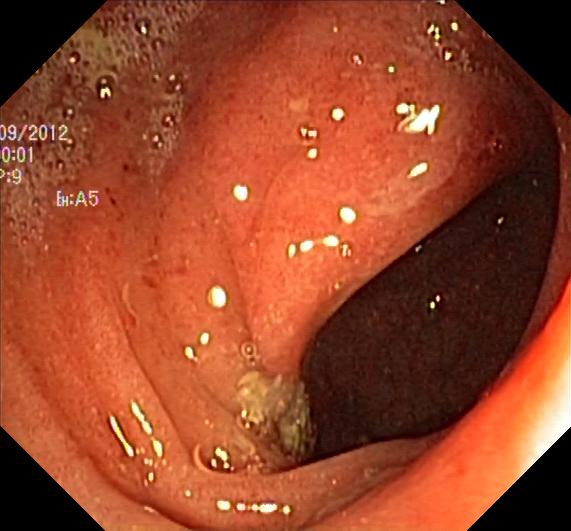Lower-GI endoscopy image of the lower GI tract showing colorectal polyp(s).